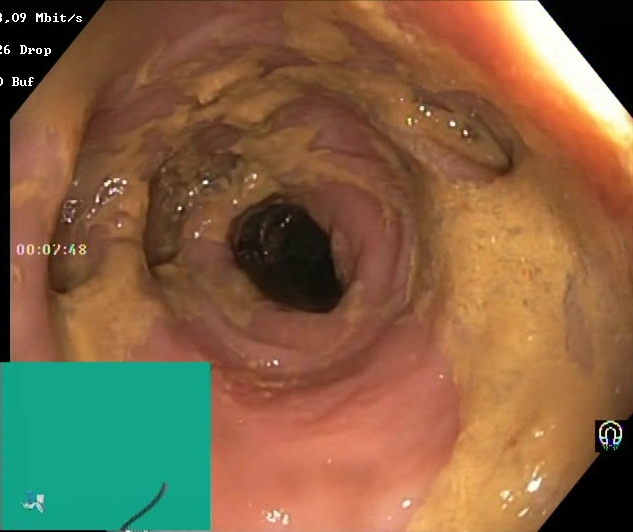{"modality": "colonoscopy", "tract": "lower GI tract", "finding": "Boston Bowel Preparation Scale score 0\u20131 (inadequate preparation)"}